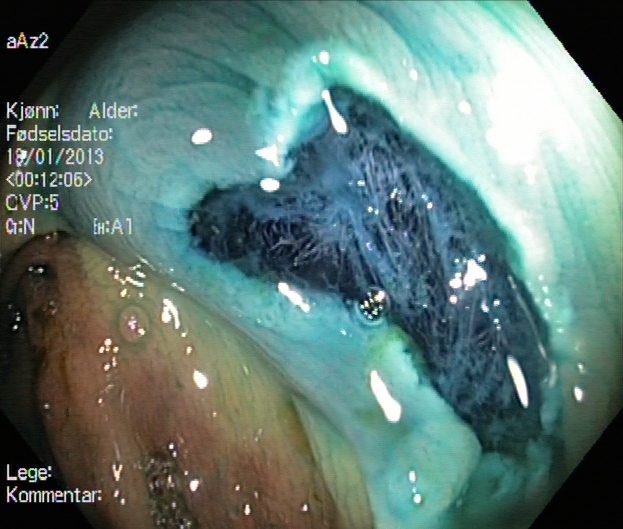Lower gastrointestinal endoscopy — dyed resection margins (post-polypectomy).